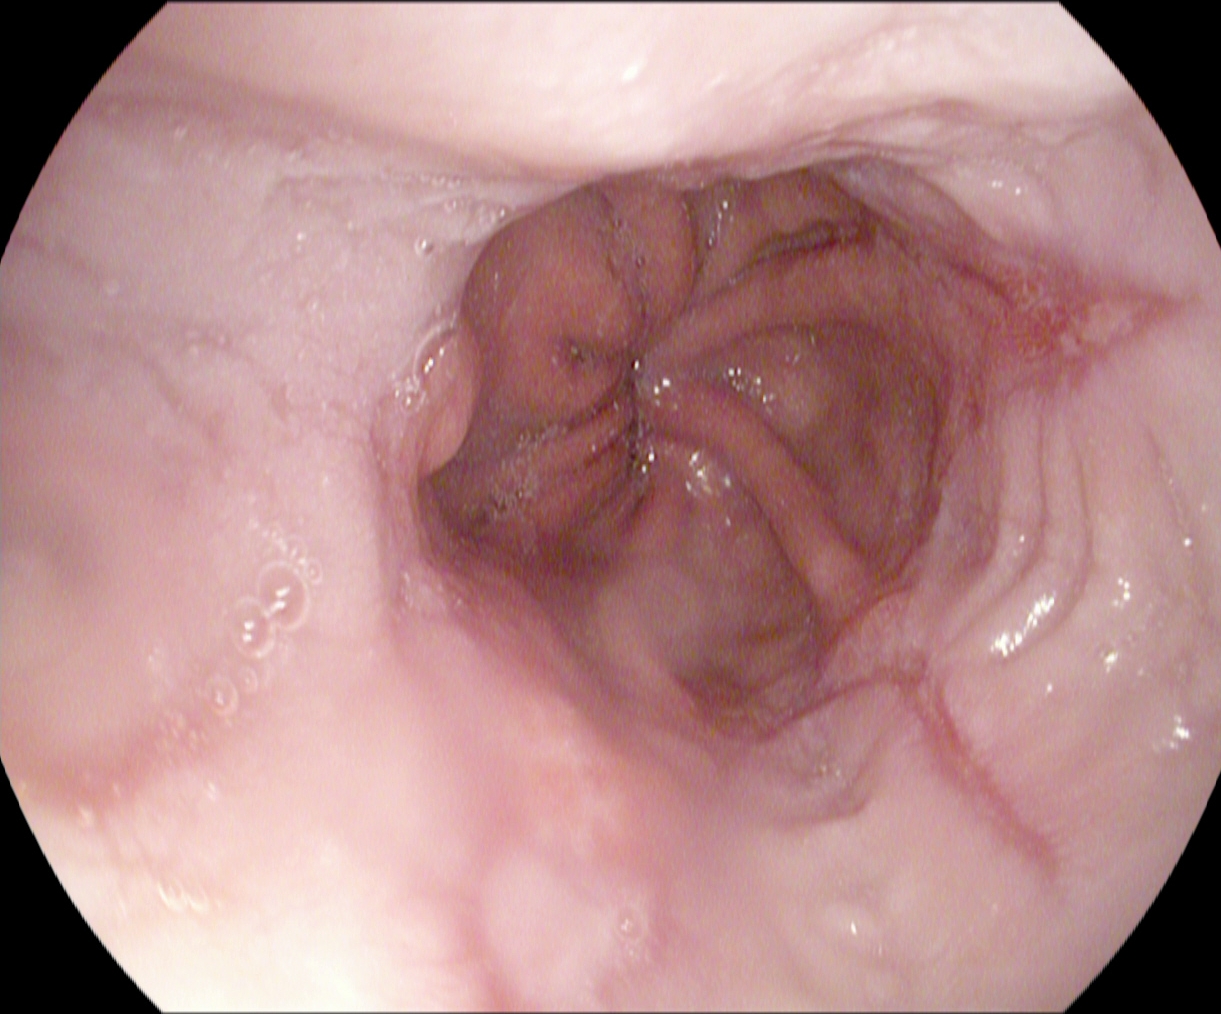Reflux esophagitis, Los Angeles grade A.